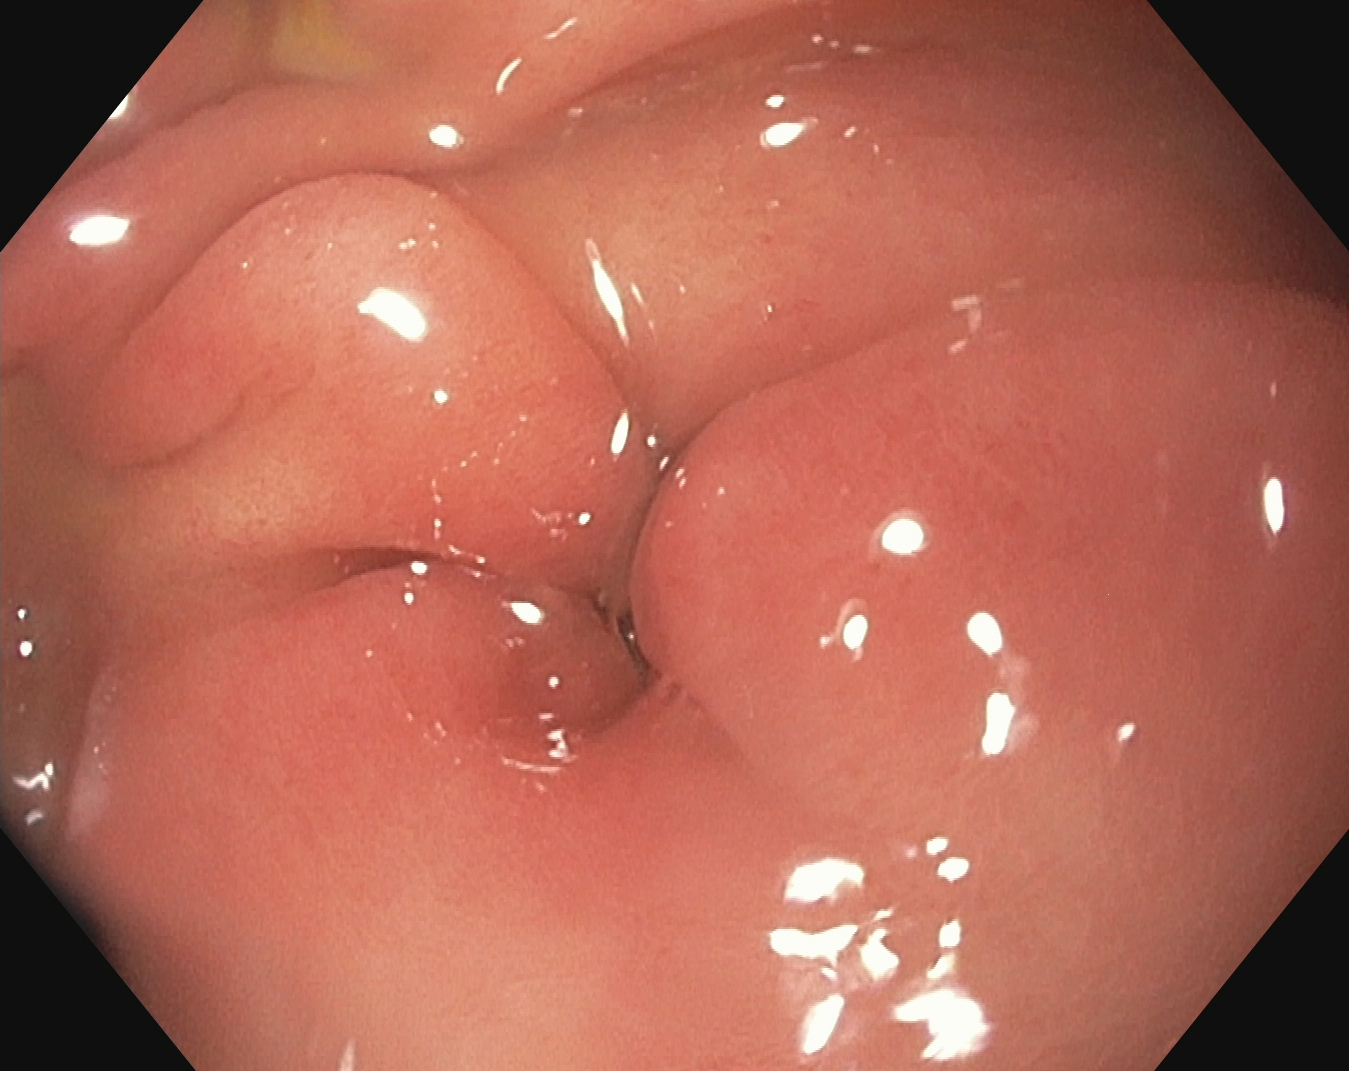Upper-GI endoscopy — pylorus.